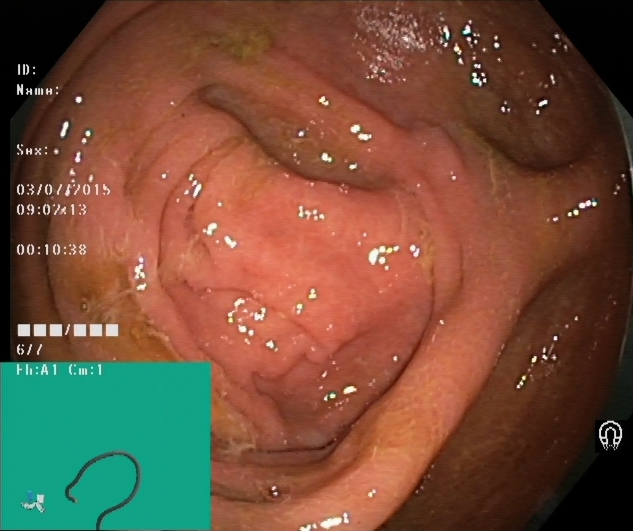PROCEDURE: Colonoscopy.
CATEGORY: Anatomical landmark.
FINDINGS: Cecum.